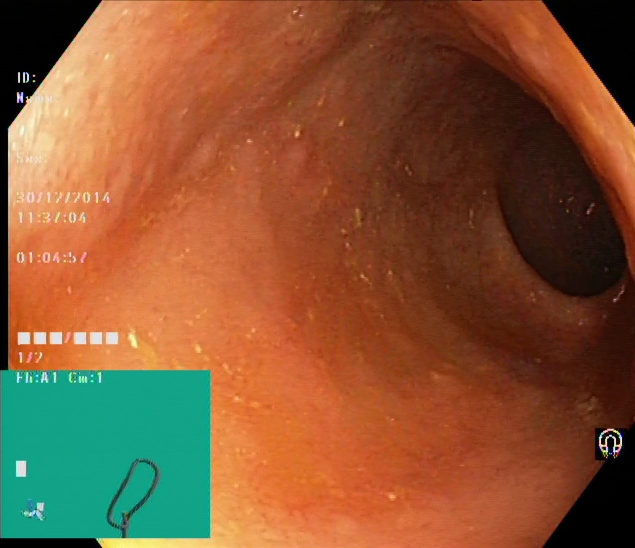ulcerative colitis, Mayo endoscopic subscore 1.